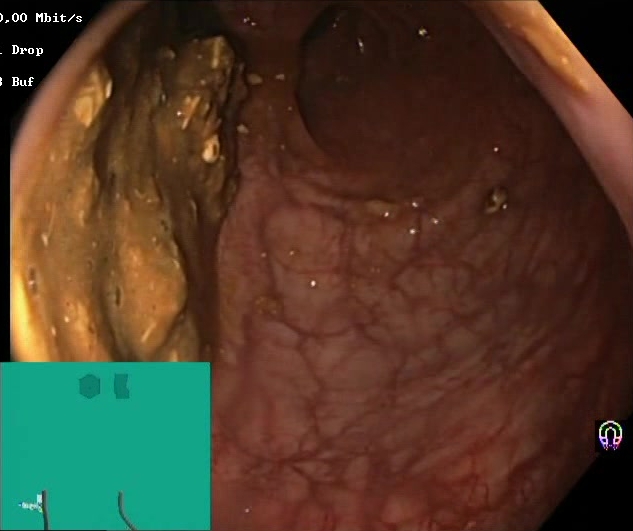Endoscopic frame of the lower GI tract showing BBPS score 0–1 (inadequate preparation).